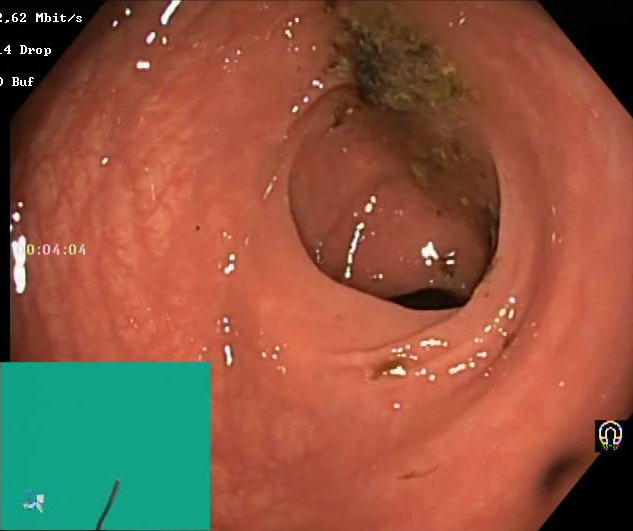BBPS score 0–1 (inadequate preparation).